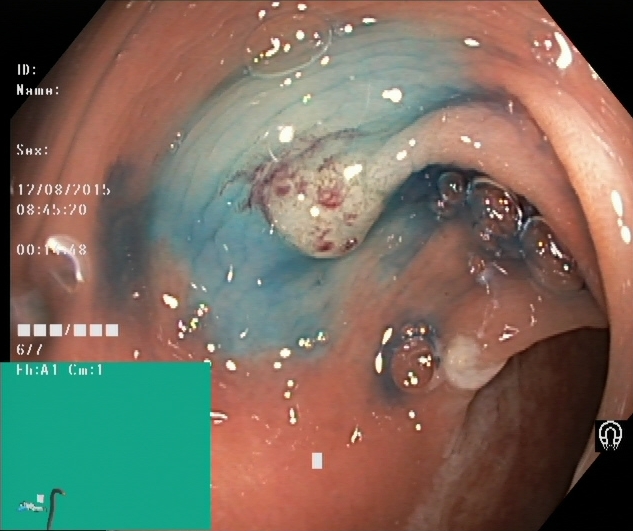Endoscopy image showing dyed and lifted polyp (pre-resection).